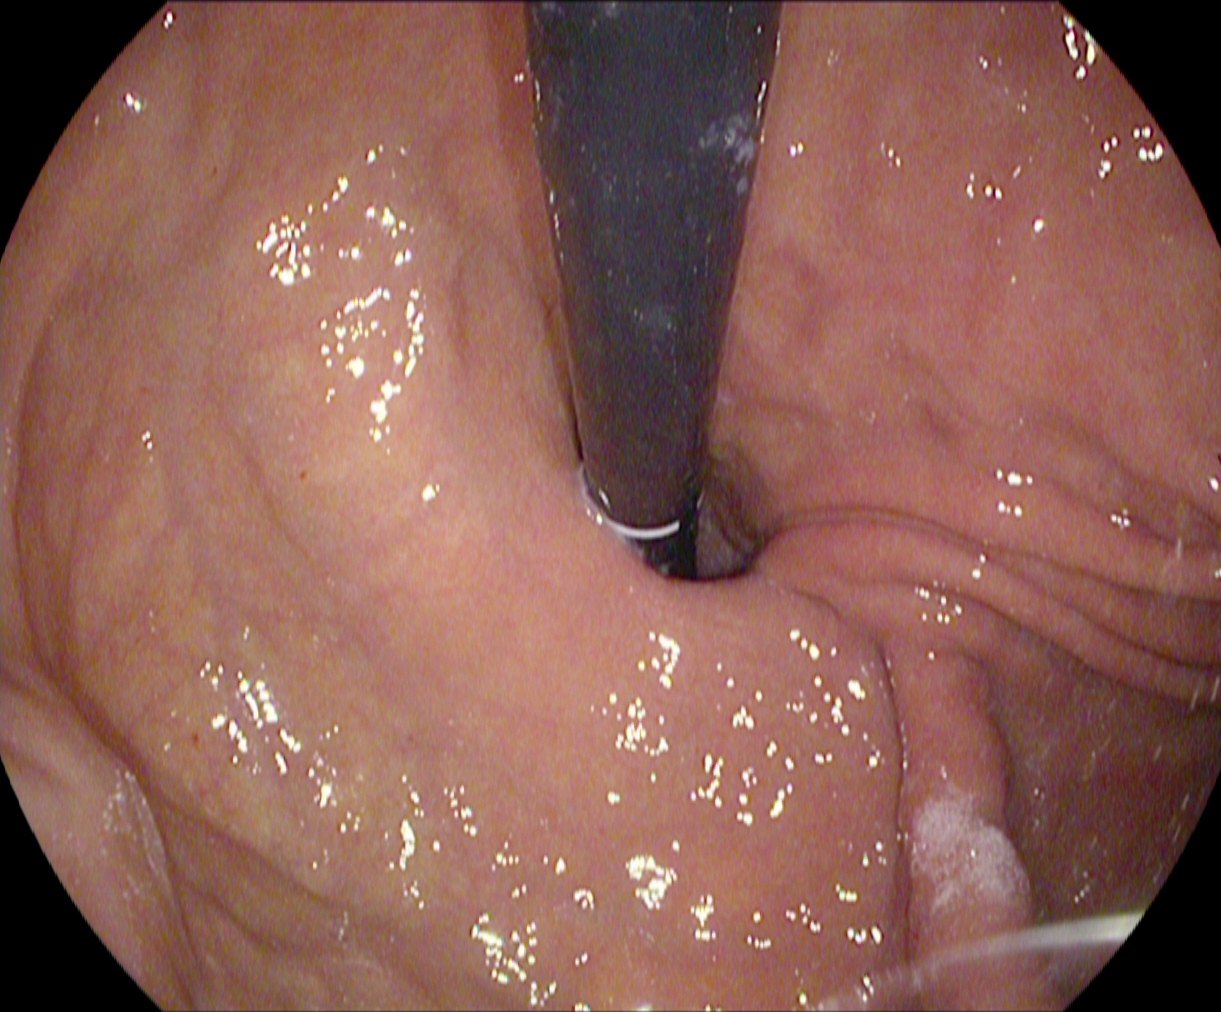Endoscopy image showing stomach in retroflexion.